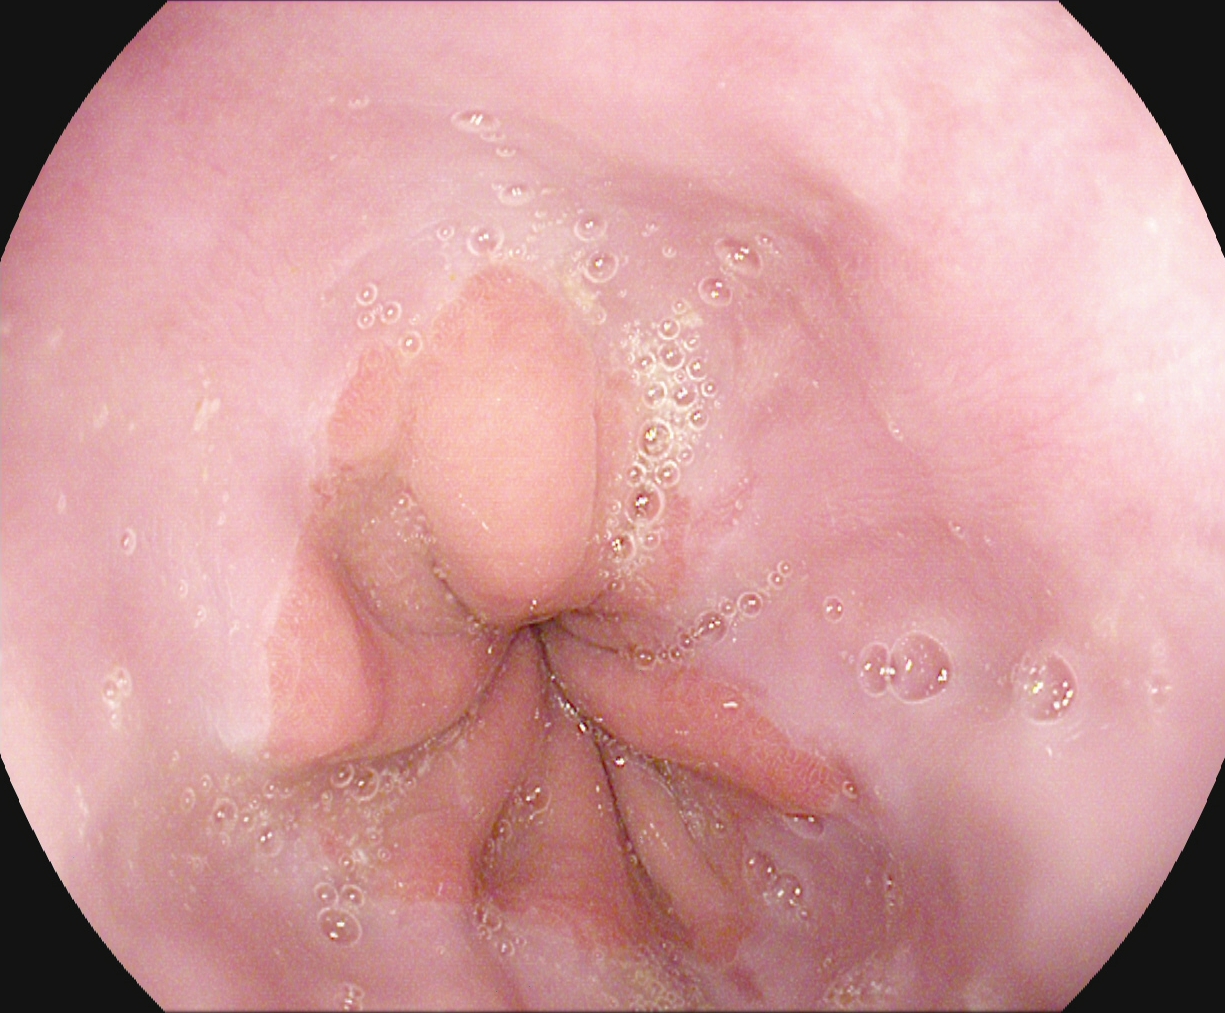Z-line (gastroesophageal junction).